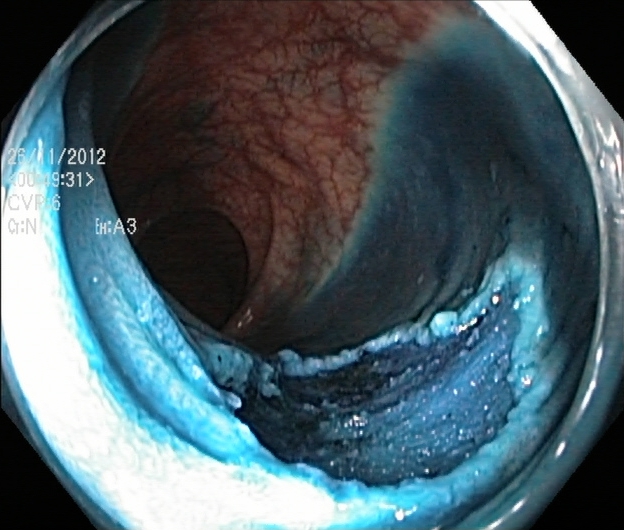PROCEDURE: Lower-GI endoscopy.
FINDINGS: Dyed resection margins (post-polypectomy).